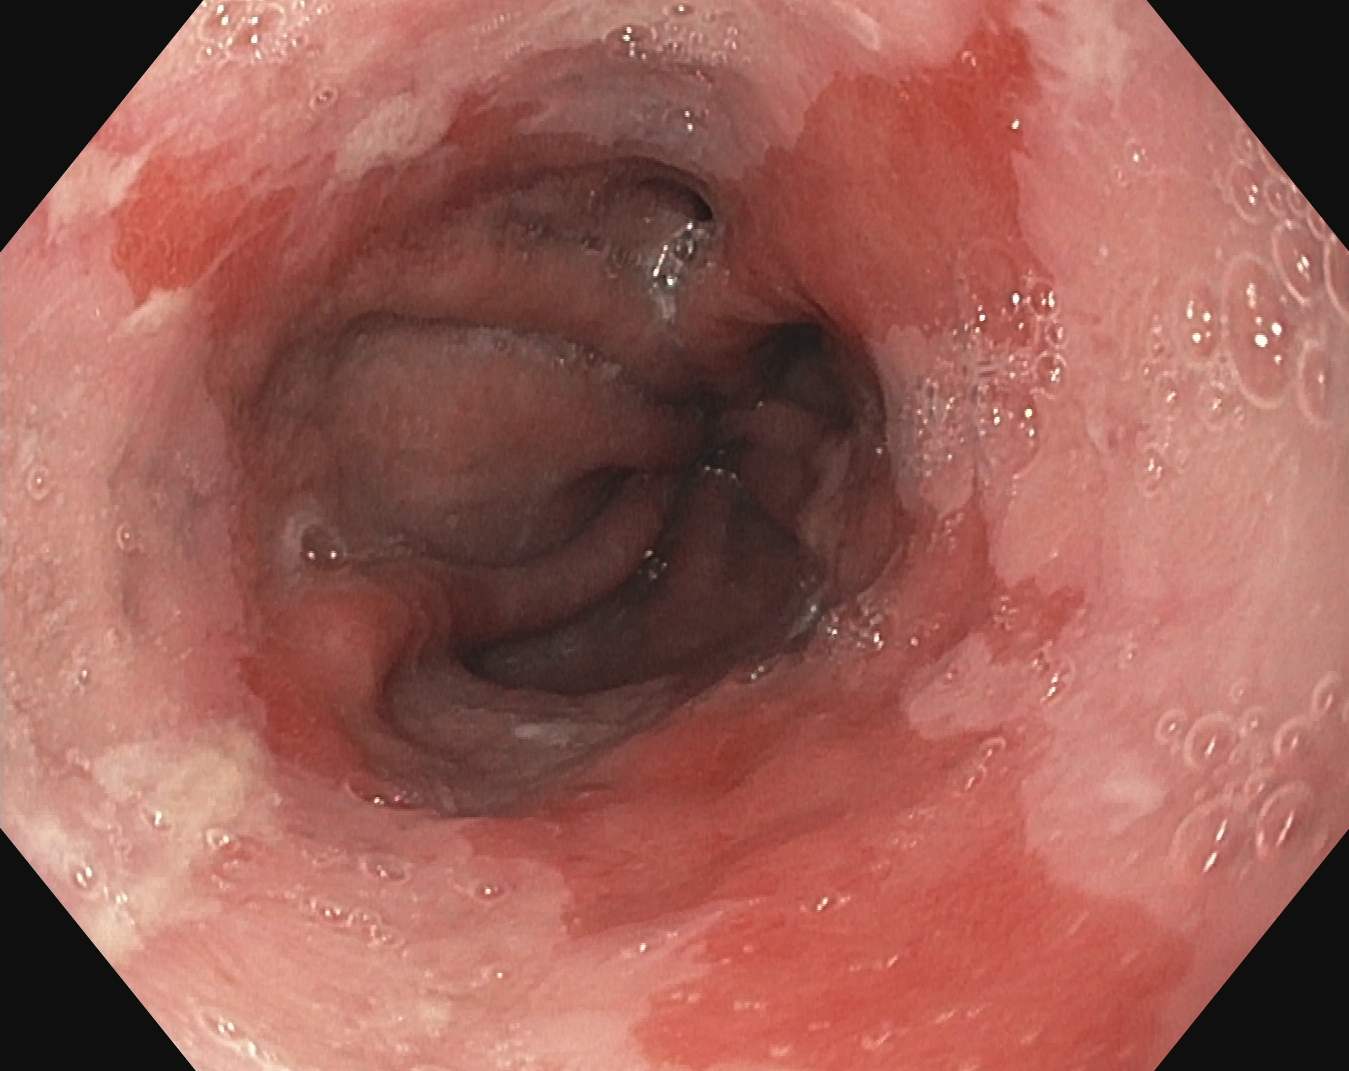GI endoscopy image of the upper GI tract showing Barrett's esophagus, short segment.